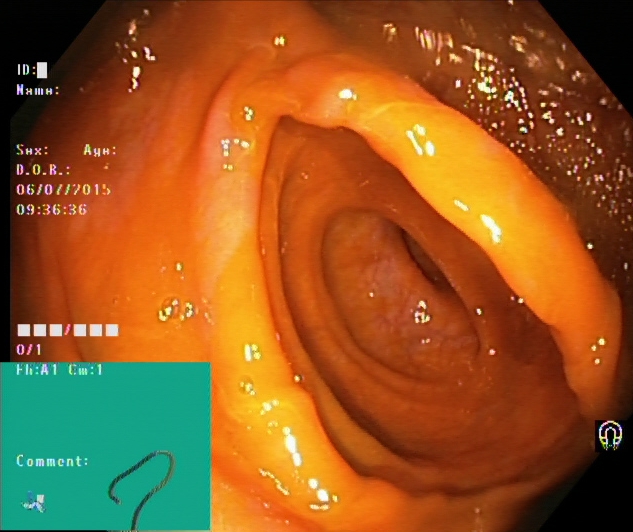cecum.